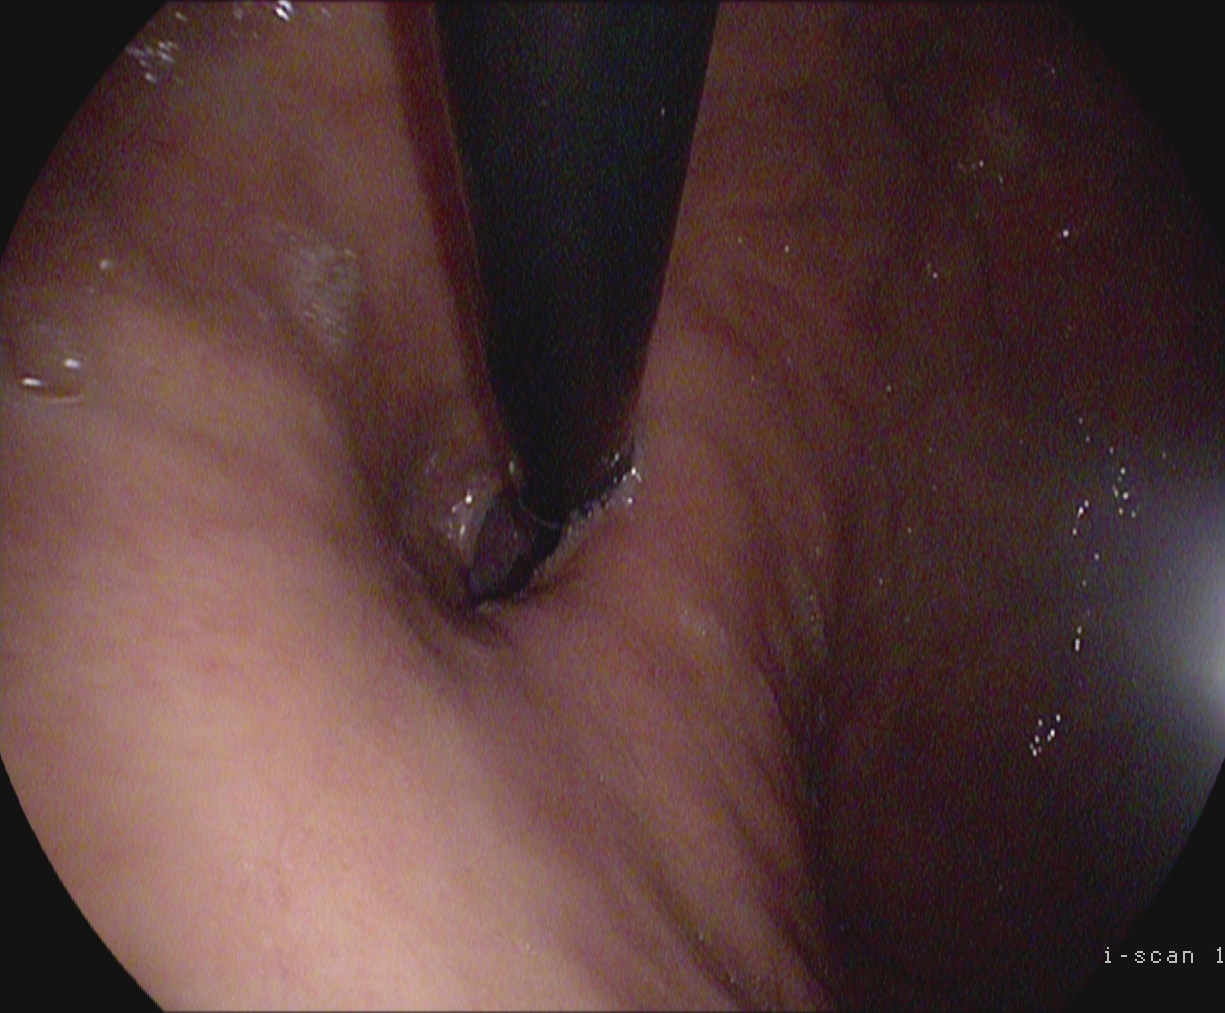Upper-GI endoscopy — stomach in retroflexion.